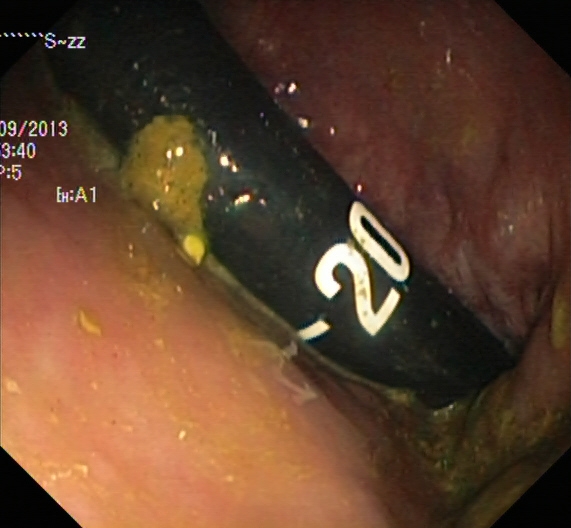{"modality": "lower-GI endoscopy", "tract": "lower GI tract", "finding": "rectum in retroflexion"}